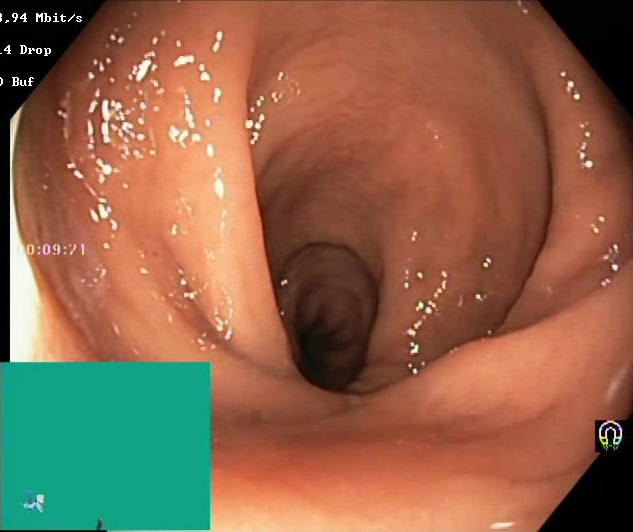Endoscopy image showing Boston Bowel Preparation Scale score 2–3 (adequate preparation).